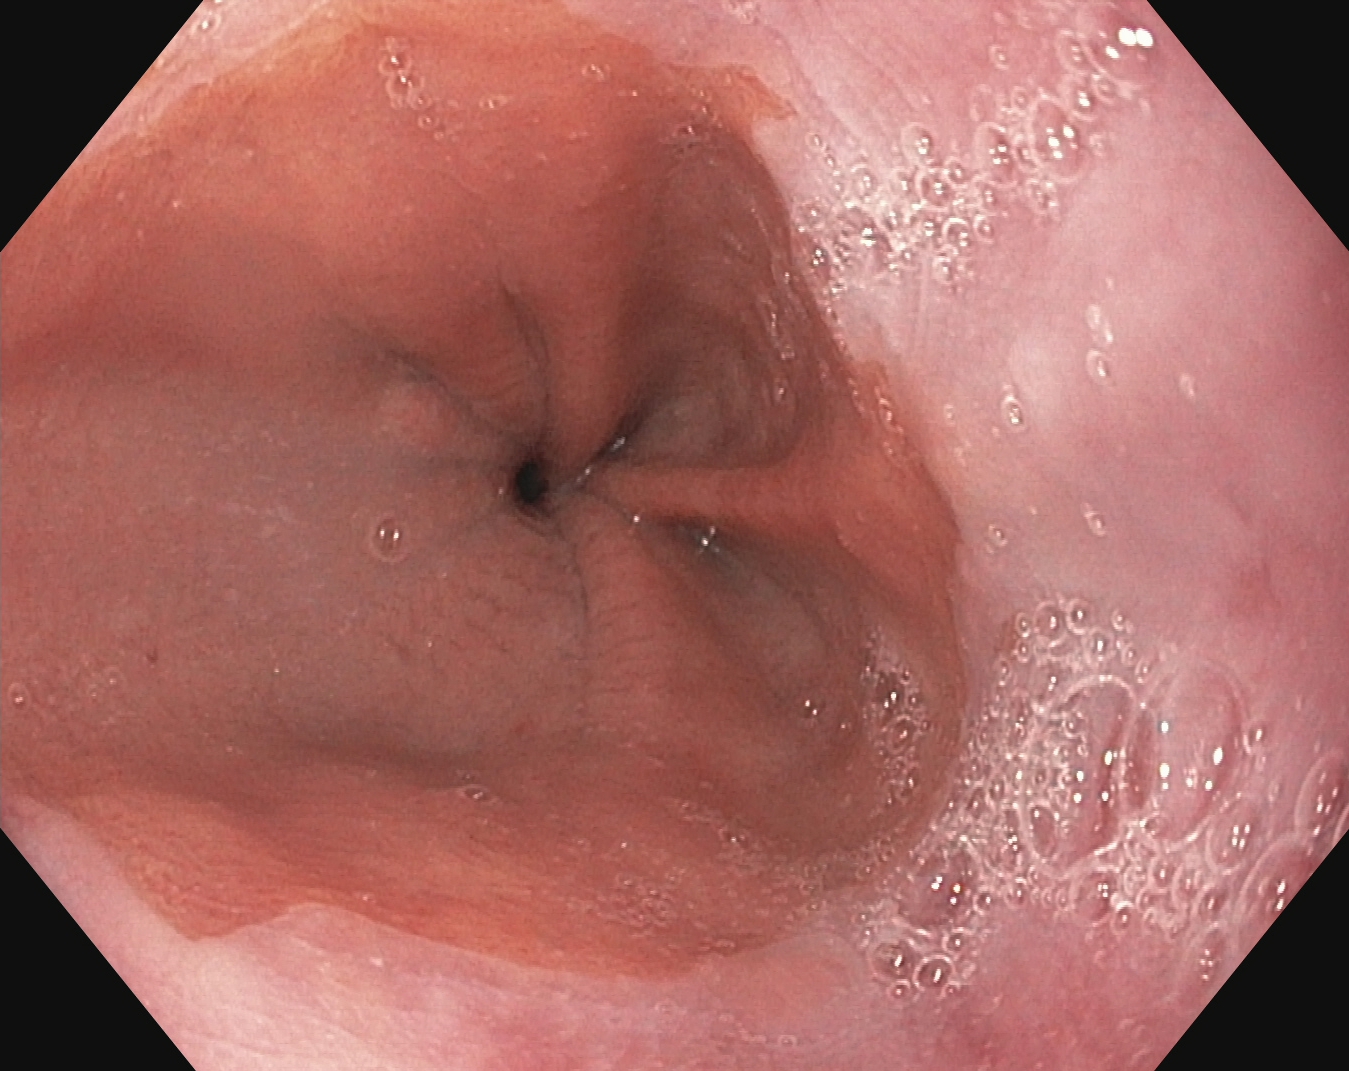Endoscopic image of the upper GI tract showing Z-line (gastroesophageal junction).